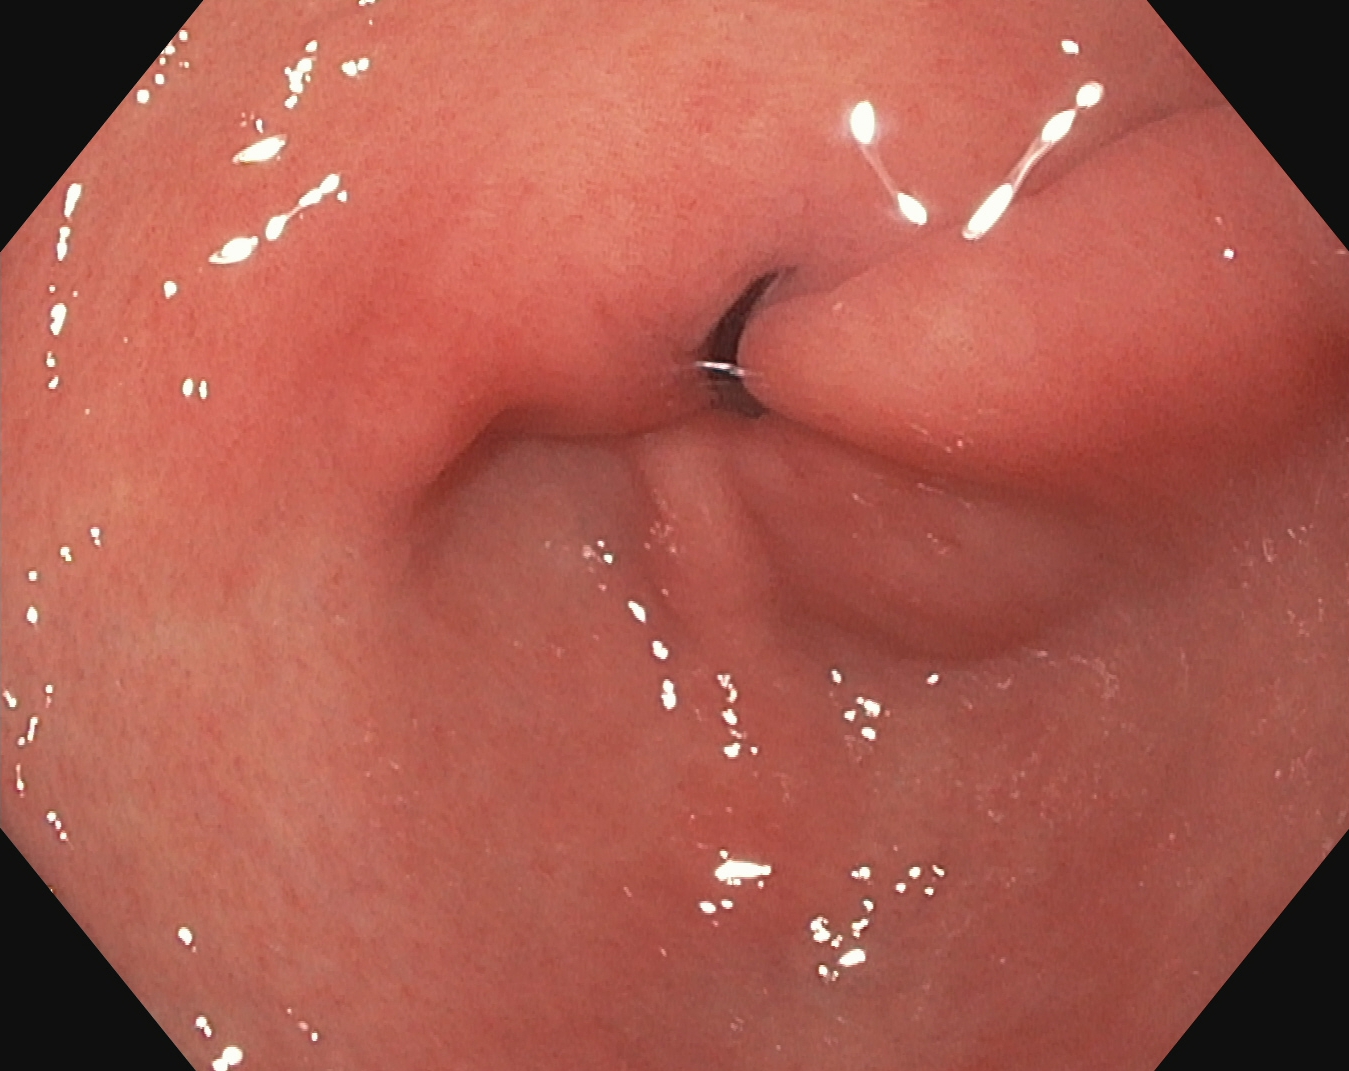Endoscopy image of the upper GI tract showing pylorus.